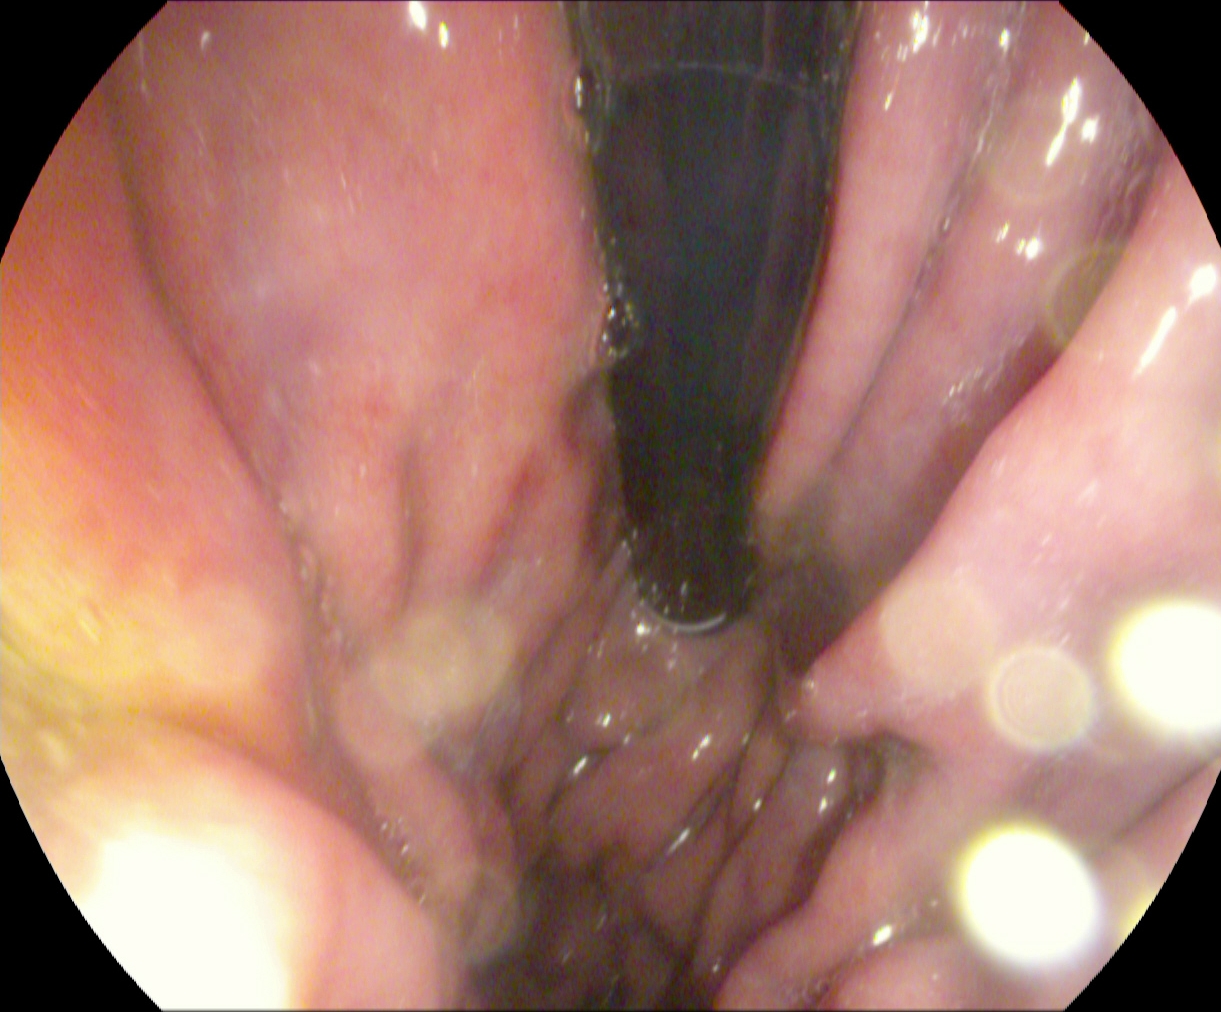EGD. Anatomical landmark. Finding: stomach in retroflexion.